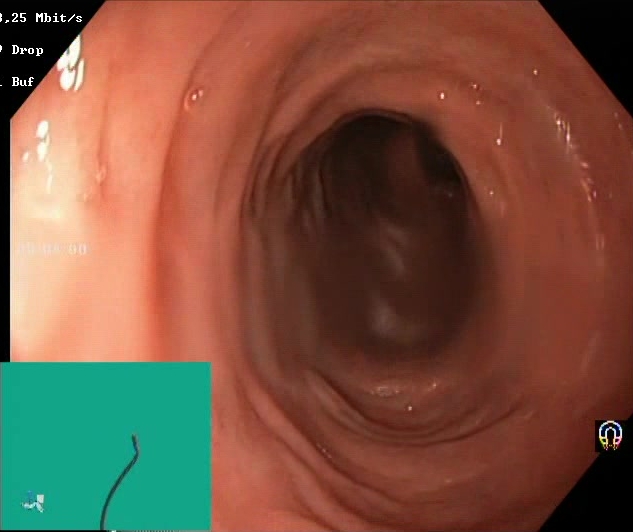BBPS score 2–3 (adequate preparation).